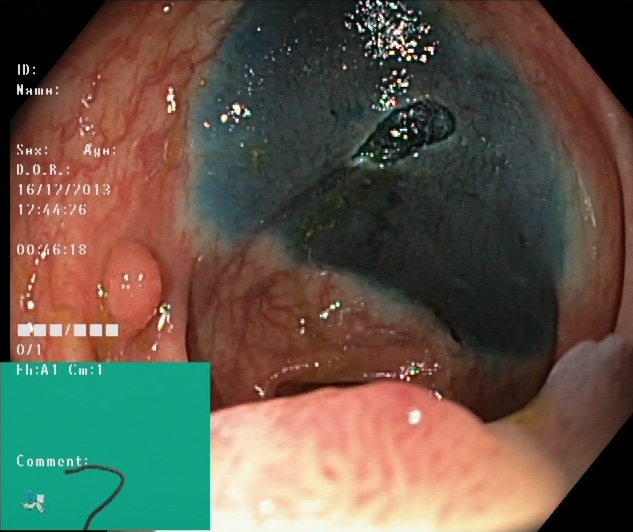{"modality": "colonoscopy", "tract": "lower GI tract", "finding": "dyed resection margins (post-polypectomy)"}